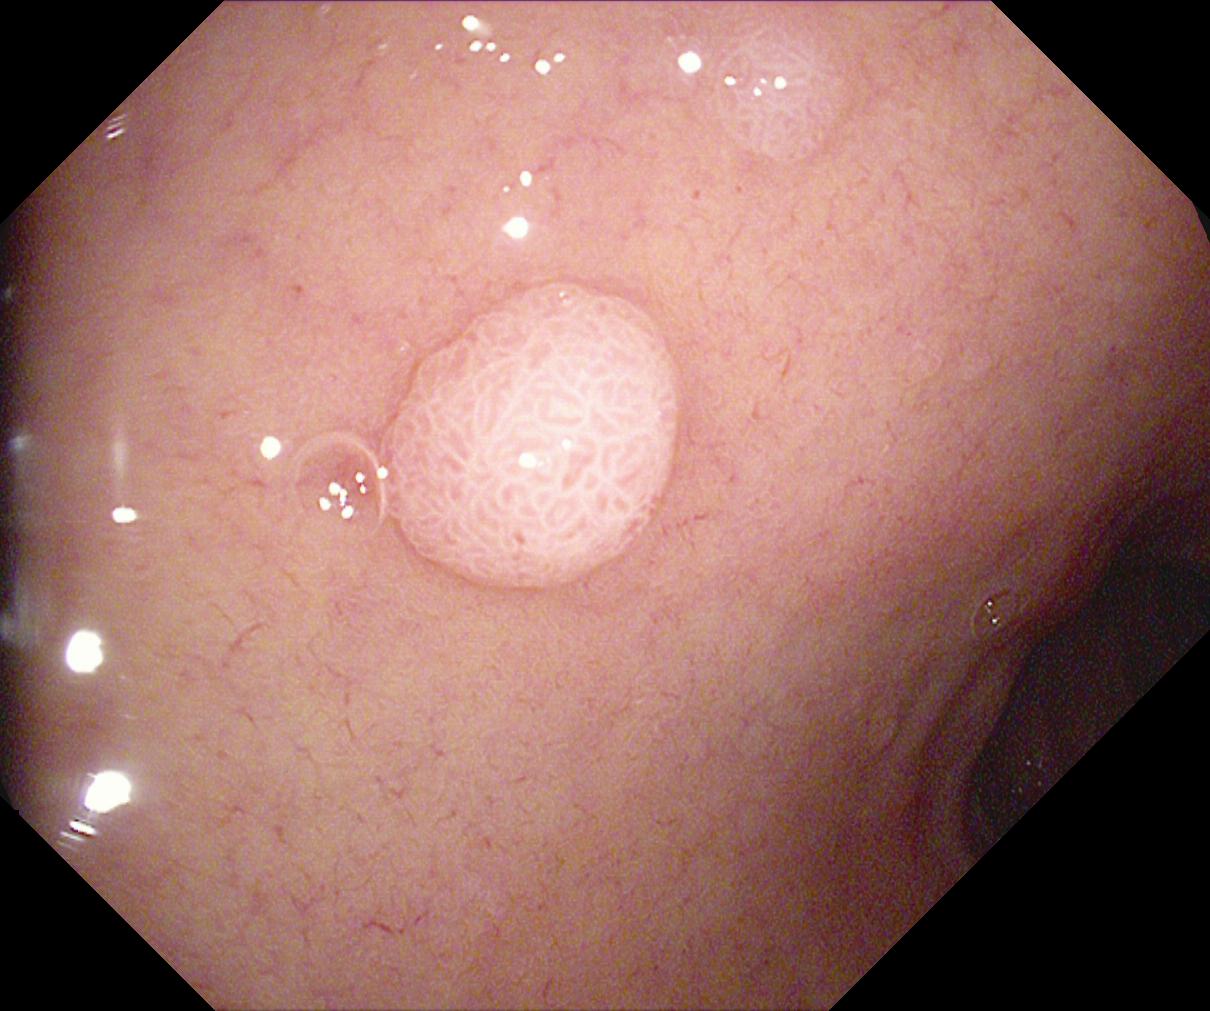{"modality": "lower gastrointestinal endoscopy", "tract": "lower GI tract", "finding": "colorectal polyp(s)"}